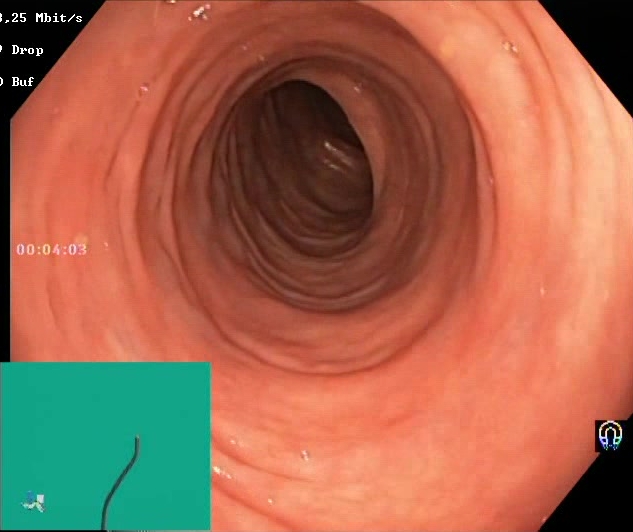Lower gastrointestinal endoscopy image of the lower GI tract showing Boston Bowel Preparation Scale score 2–3 (adequate preparation).